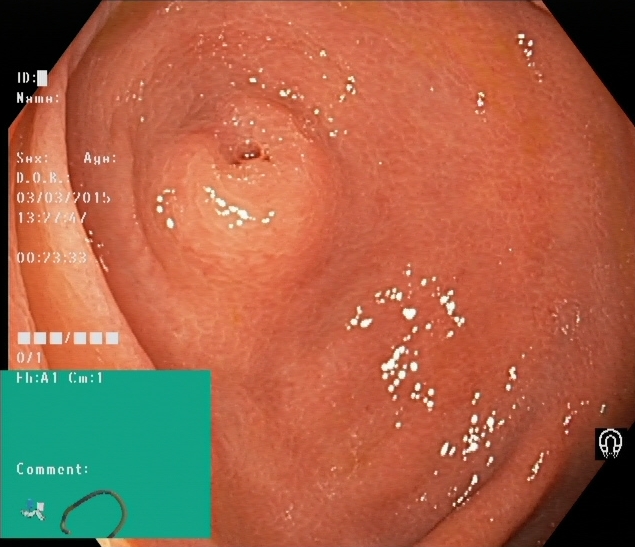{"modality": "lower-GI endoscopy", "tract": "lower GI tract", "finding": "cecum"}